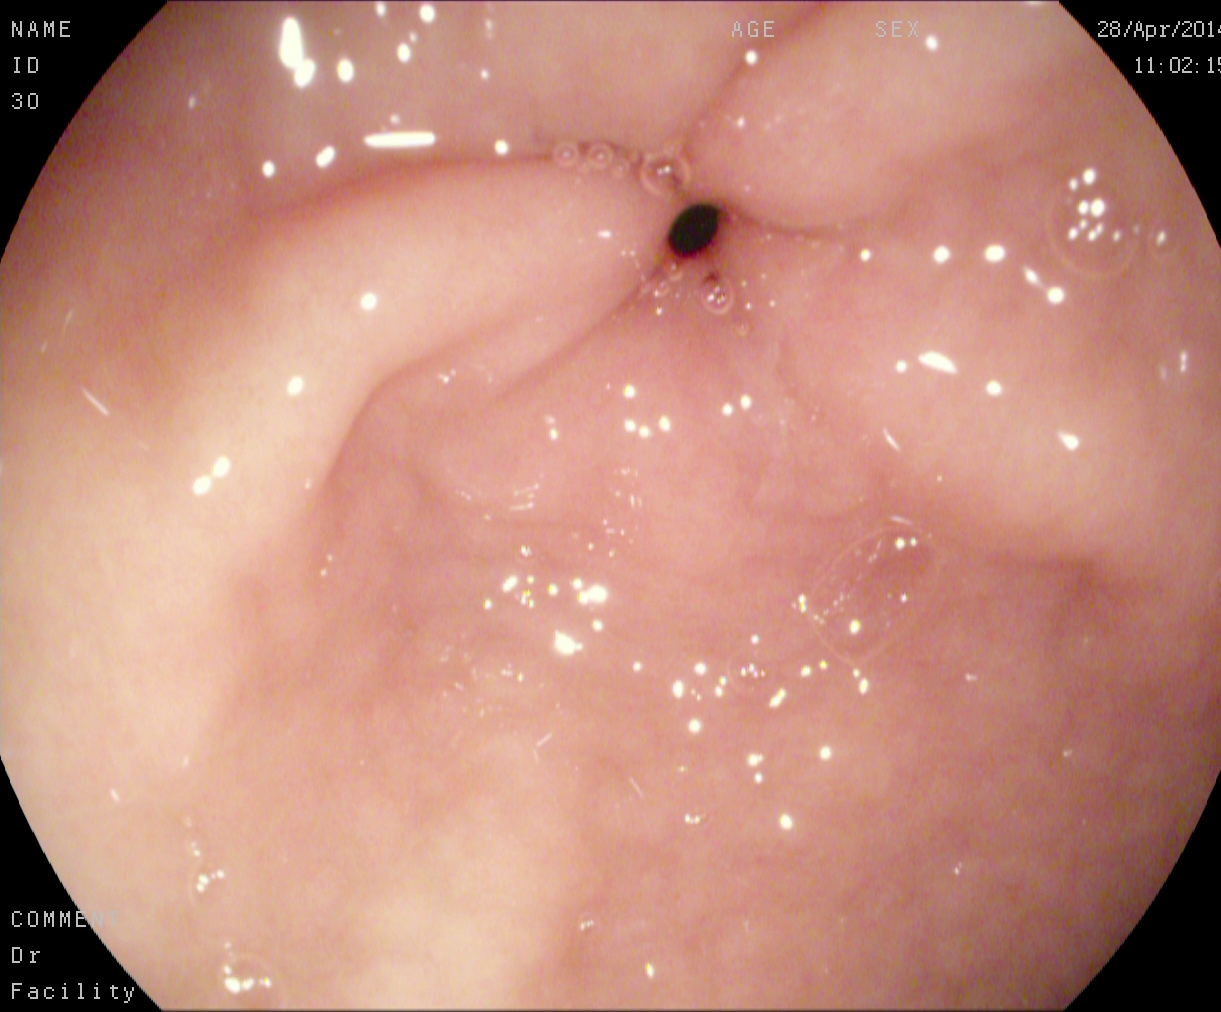Pylorus.